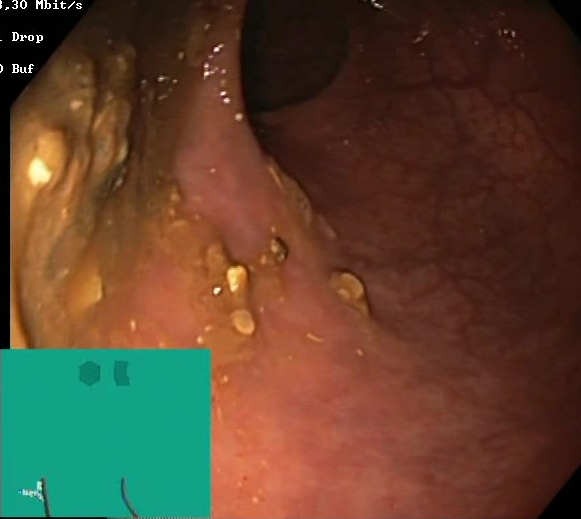Boston Bowel Preparation Scale score 0–1 (inadequate preparation).